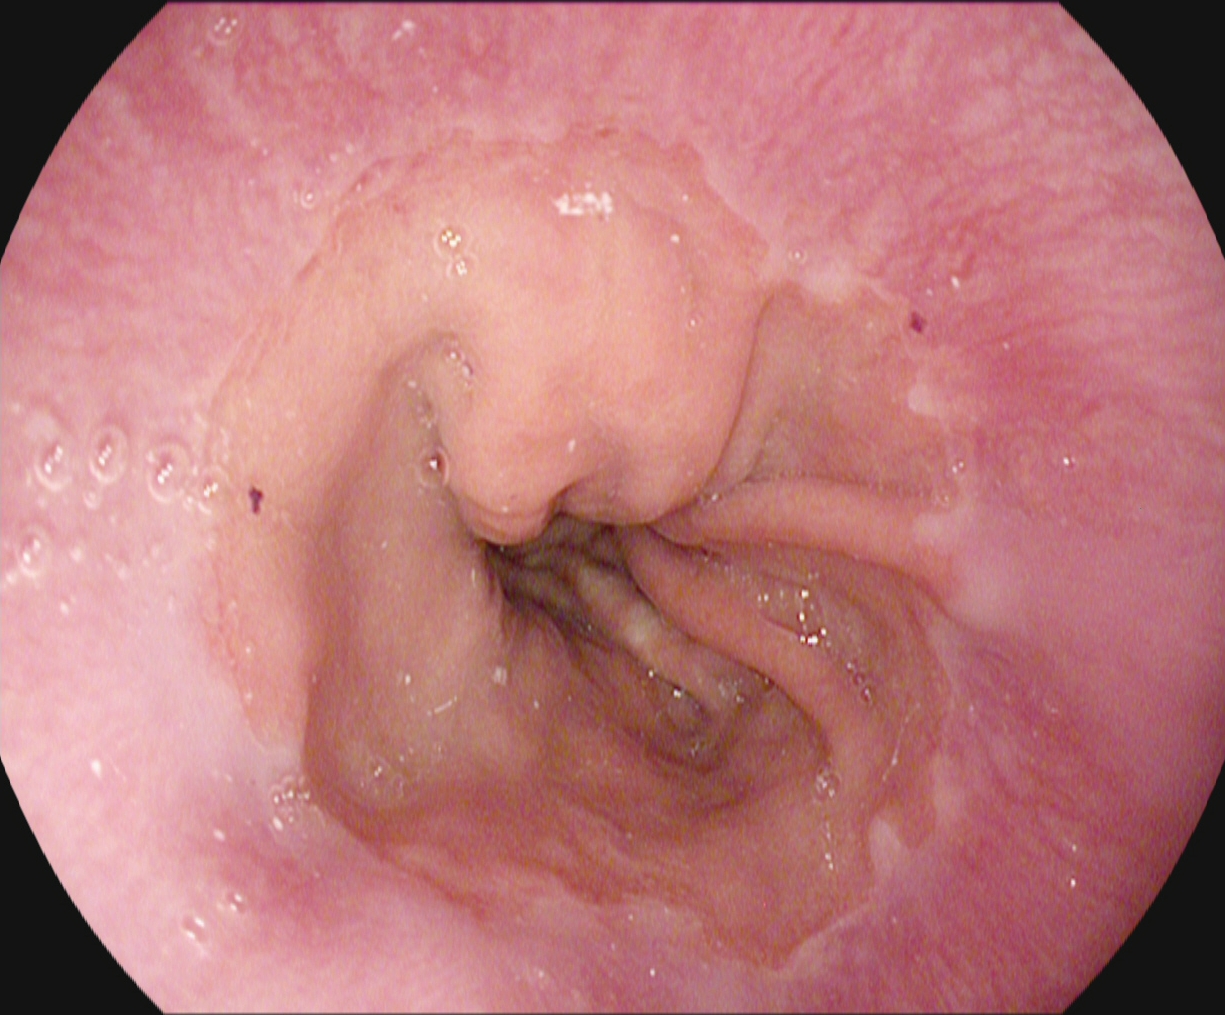Z-line (gastroesophageal junction).